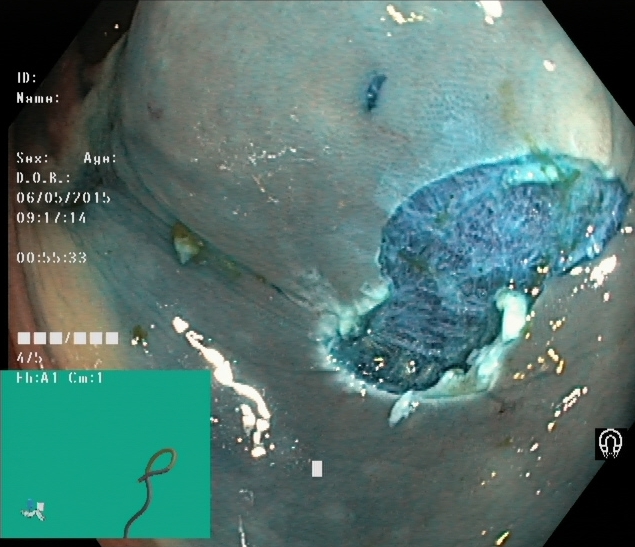{"modality": "lower-GI endoscopy", "finding": "dyed resection margins (post-polypectomy)"}